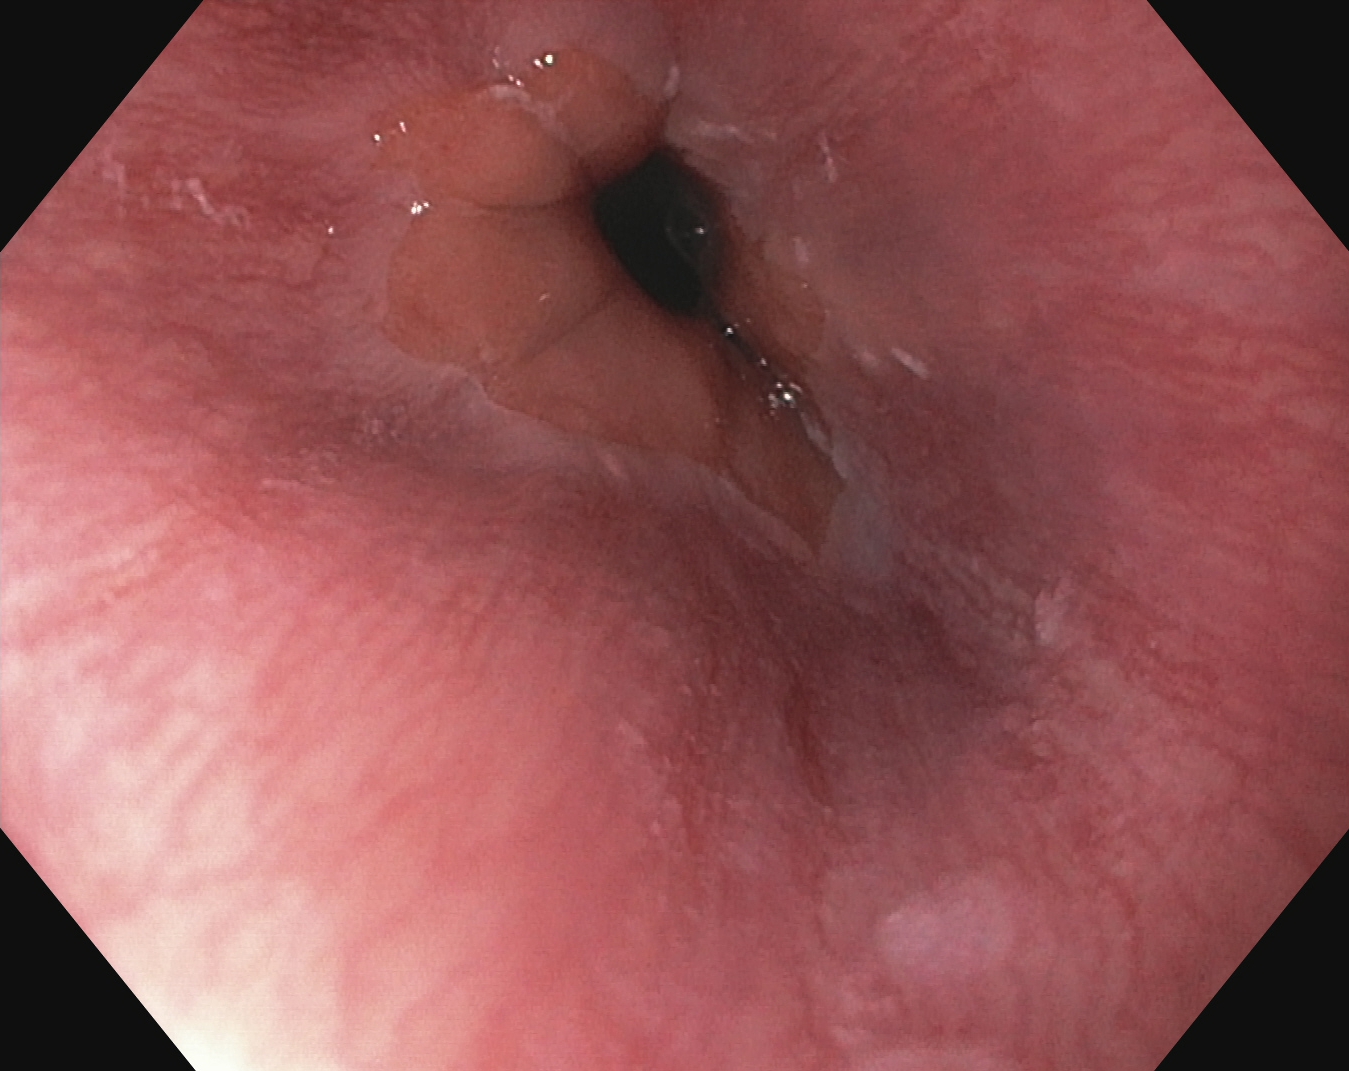PROCEDURE: EGD.
FINDINGS: Z-line (gastroesophageal junction).